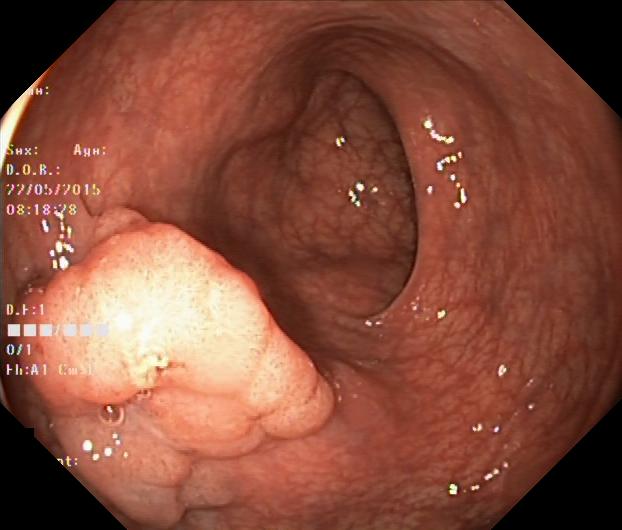Colorectal polyp(s).